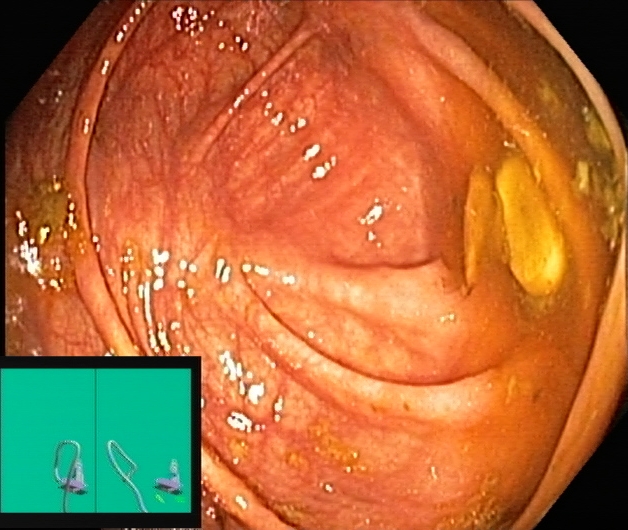This endoscopy frame shows cecum.